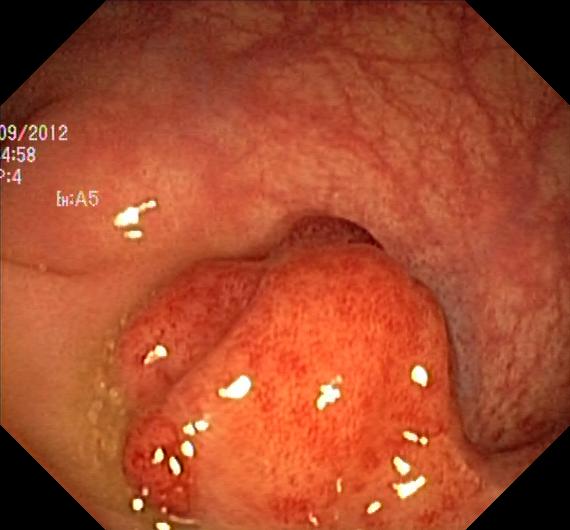Colorectal polyp(s).